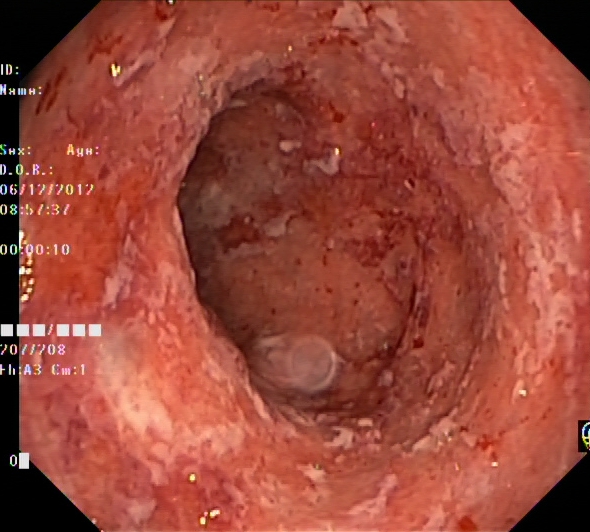modality: lower-GI endoscopy
finding: ulcerative colitis, Mayo endoscopic subscore 3